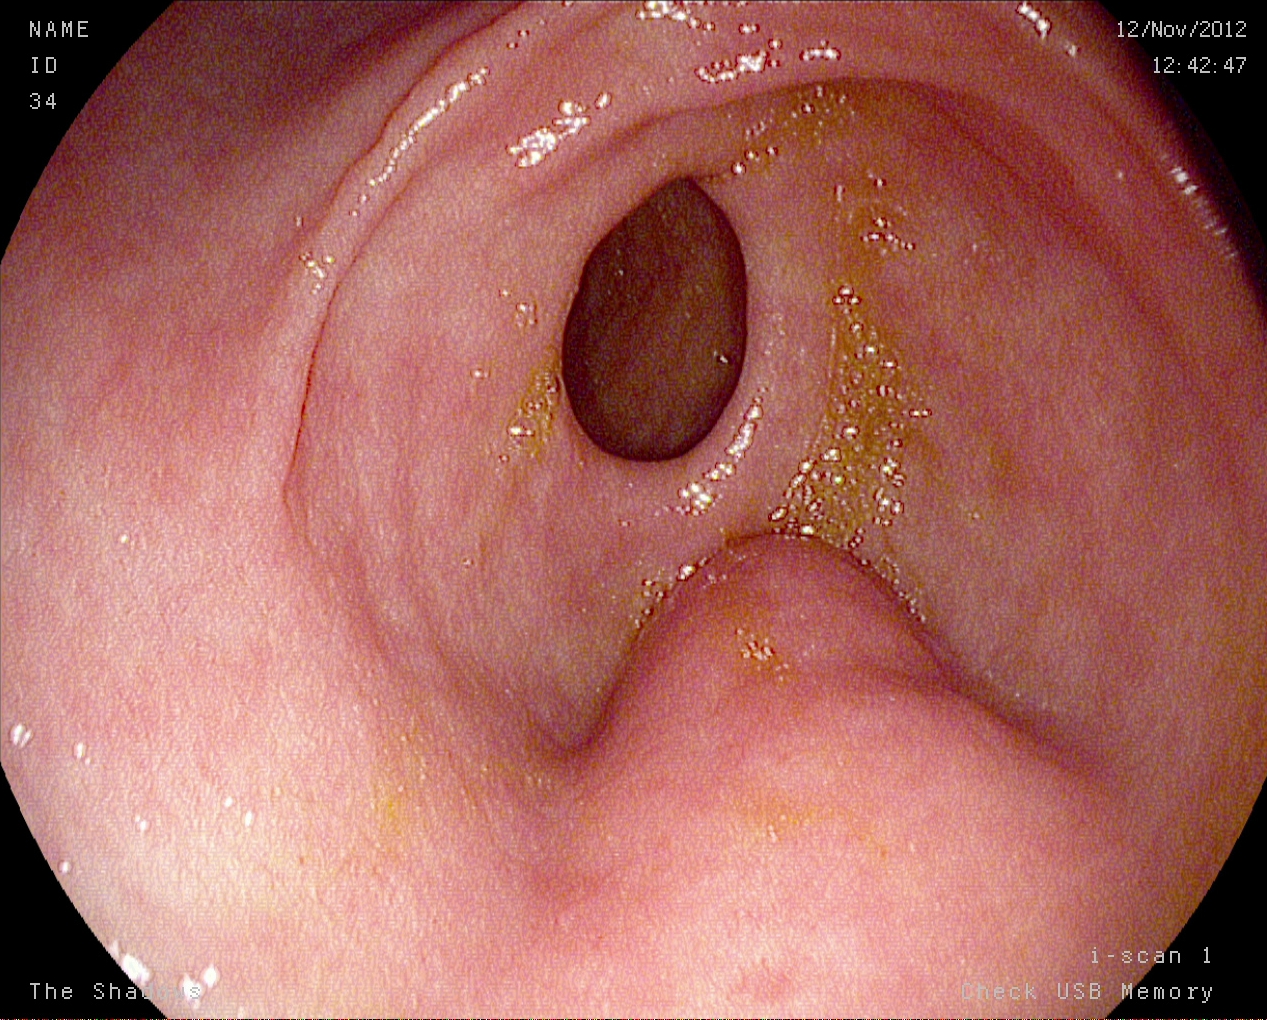PROCEDURE: EGD.
FINDINGS: Pylorus.